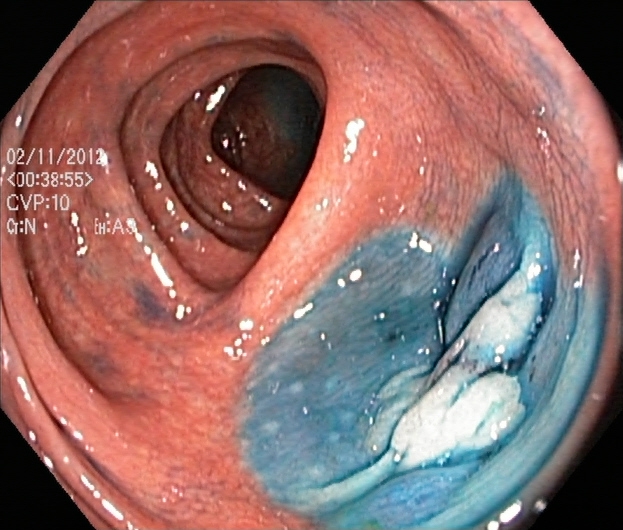This endoscopy frame shows dyed and lifted polyp (pre-resection).